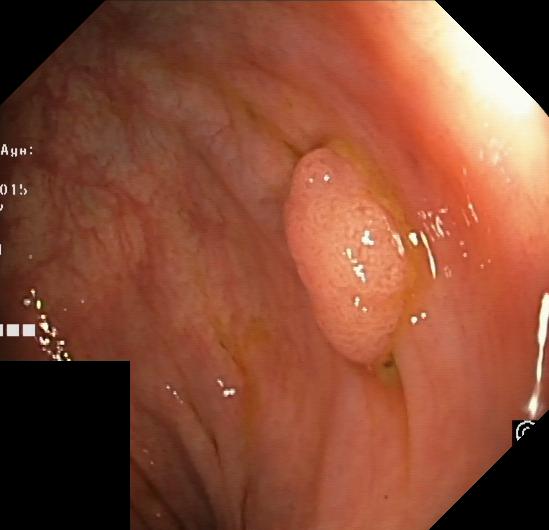GI endoscopy image showing colorectal polyp(s).